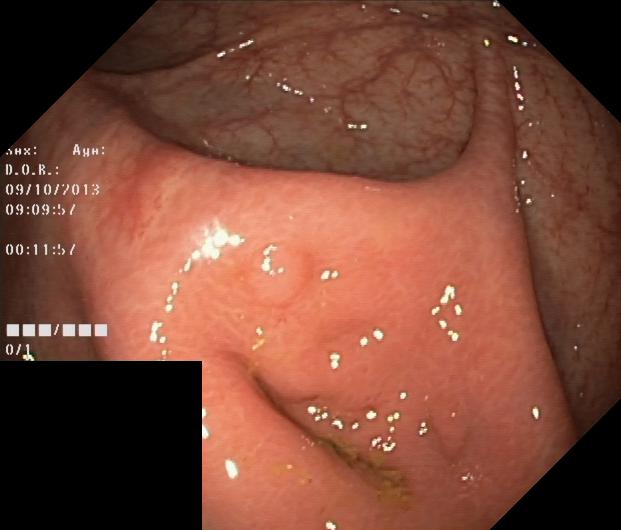{"modality": "lower-GI endoscopy", "category": "pathological finding", "finding": "colorectal polyp(s)"}